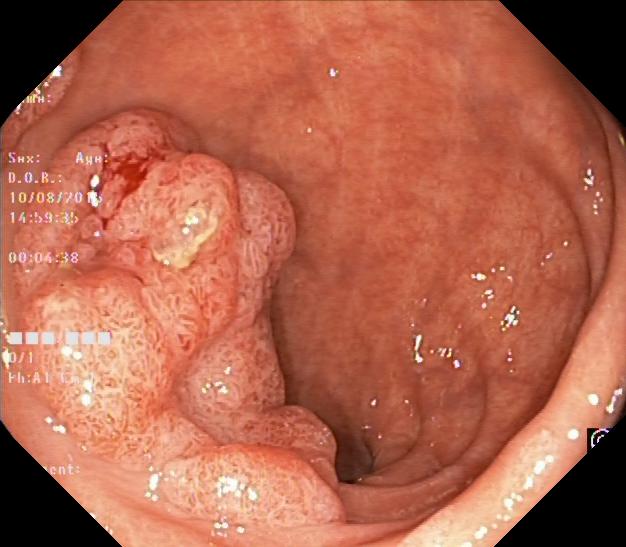Endoscopic frame of the lower GI tract showing colorectal polyp(s).